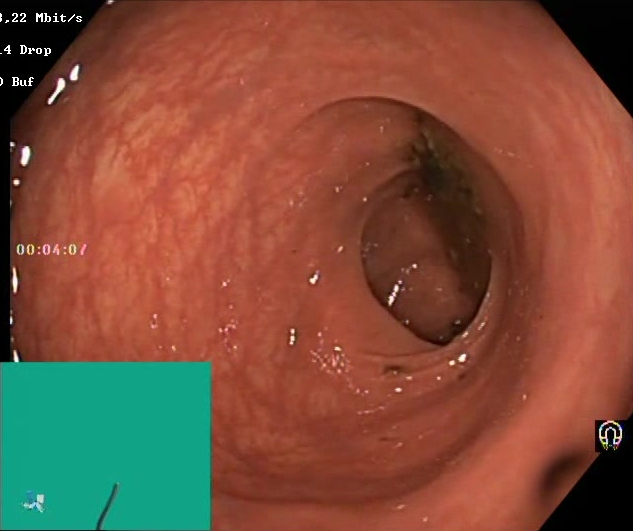{"modality": "lower gastrointestinal endoscopy", "tract": "lower GI tract", "finding": "Boston Bowel Preparation Scale score 0\u20131 (inadequate preparation)"}